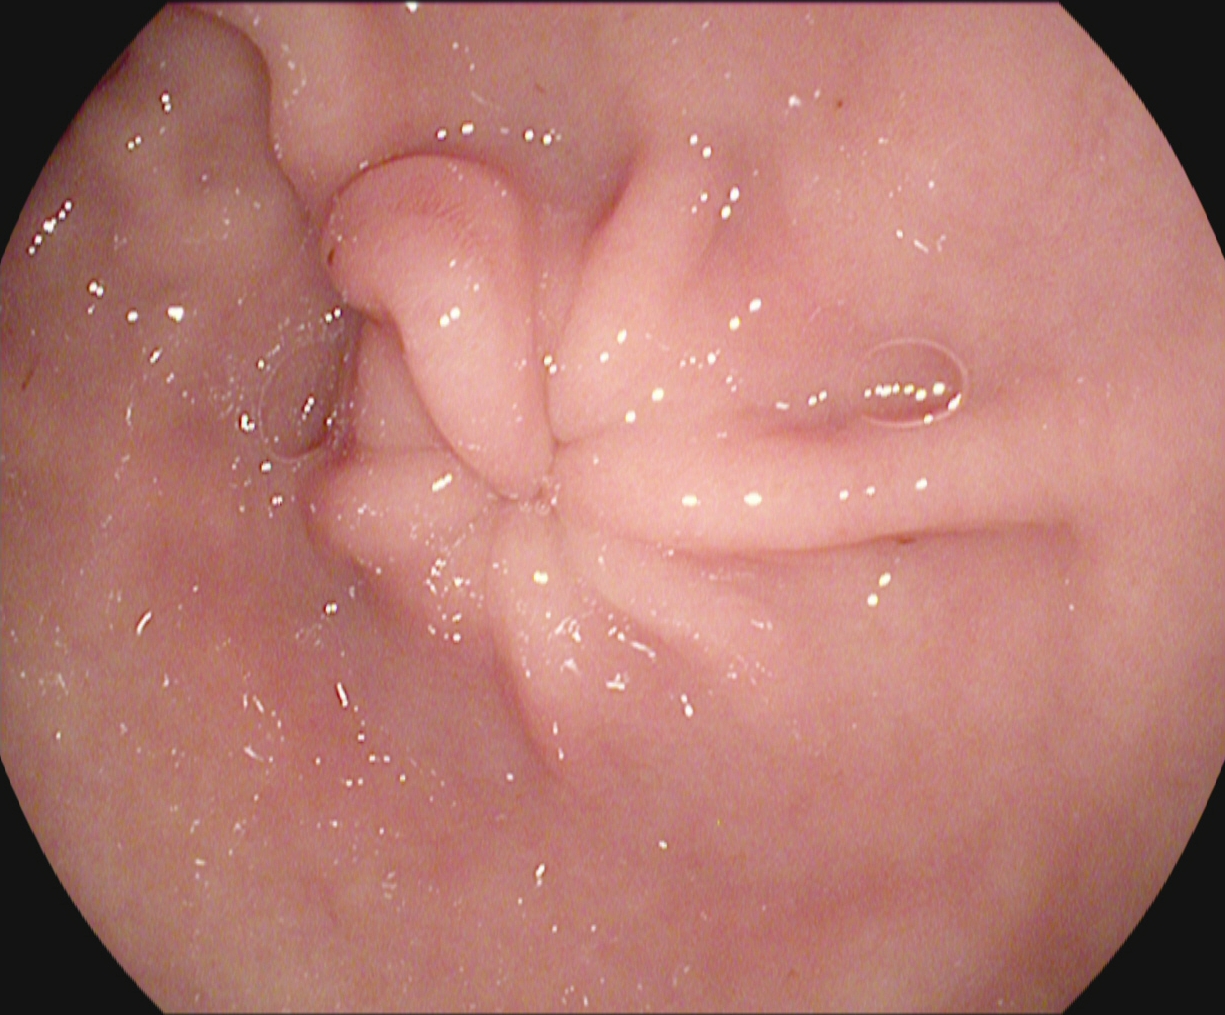PROCEDURE: Upper-GI endoscopy.
CATEGORY: Anatomical landmark.
FINDINGS: Pylorus.